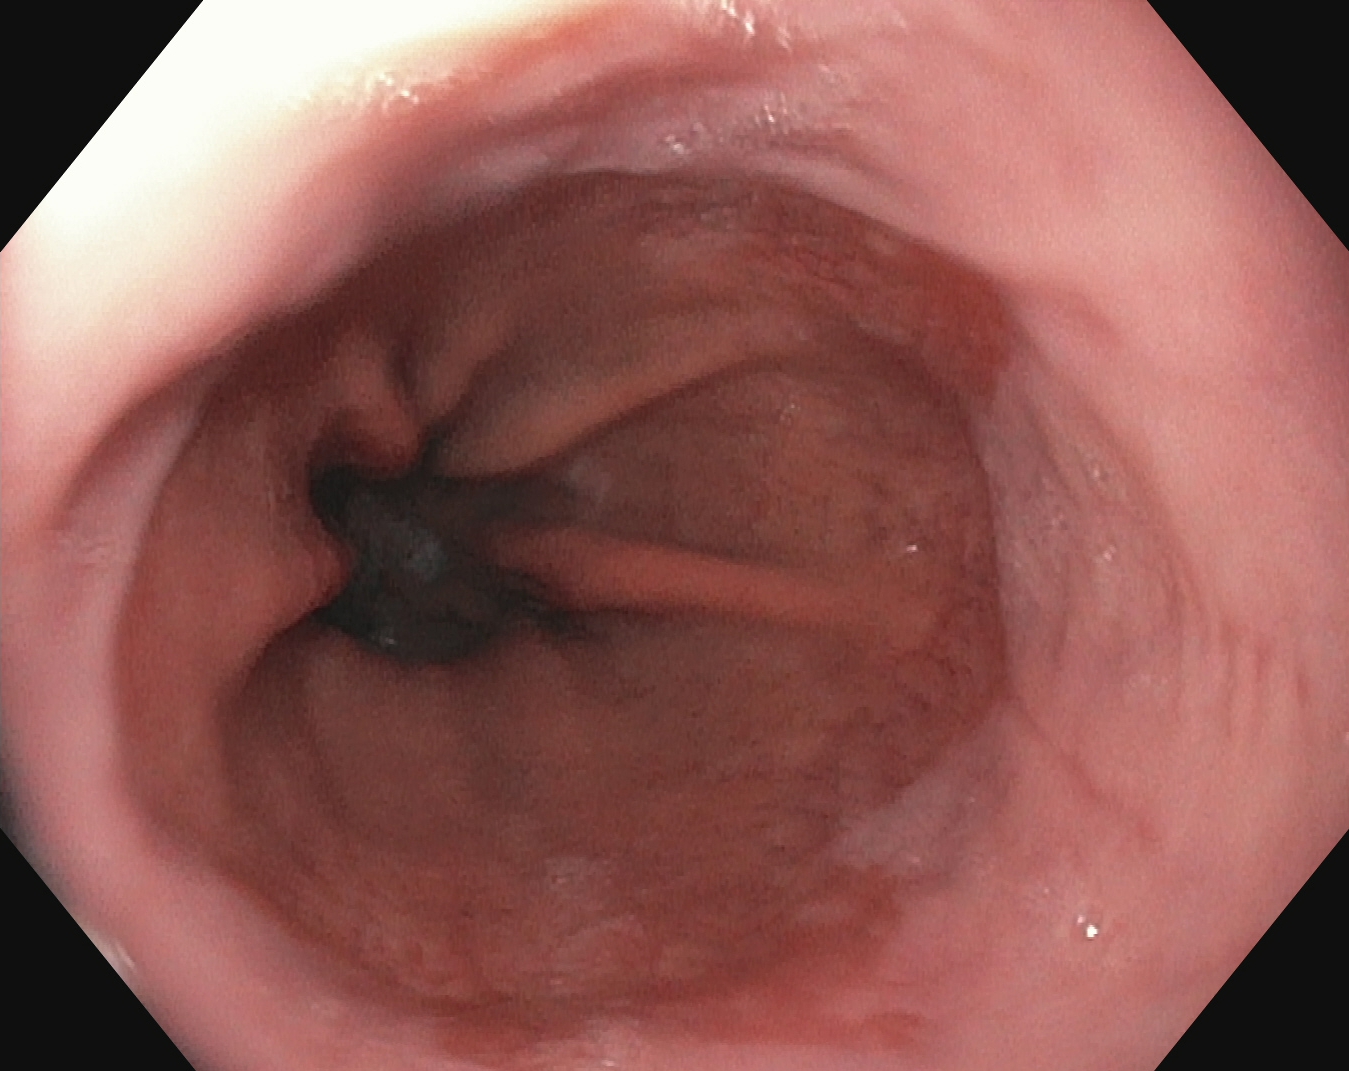{"modality": "EGD", "category": "pathological finding", "finding": "reflux esophagitis, Los Angeles grade A"}